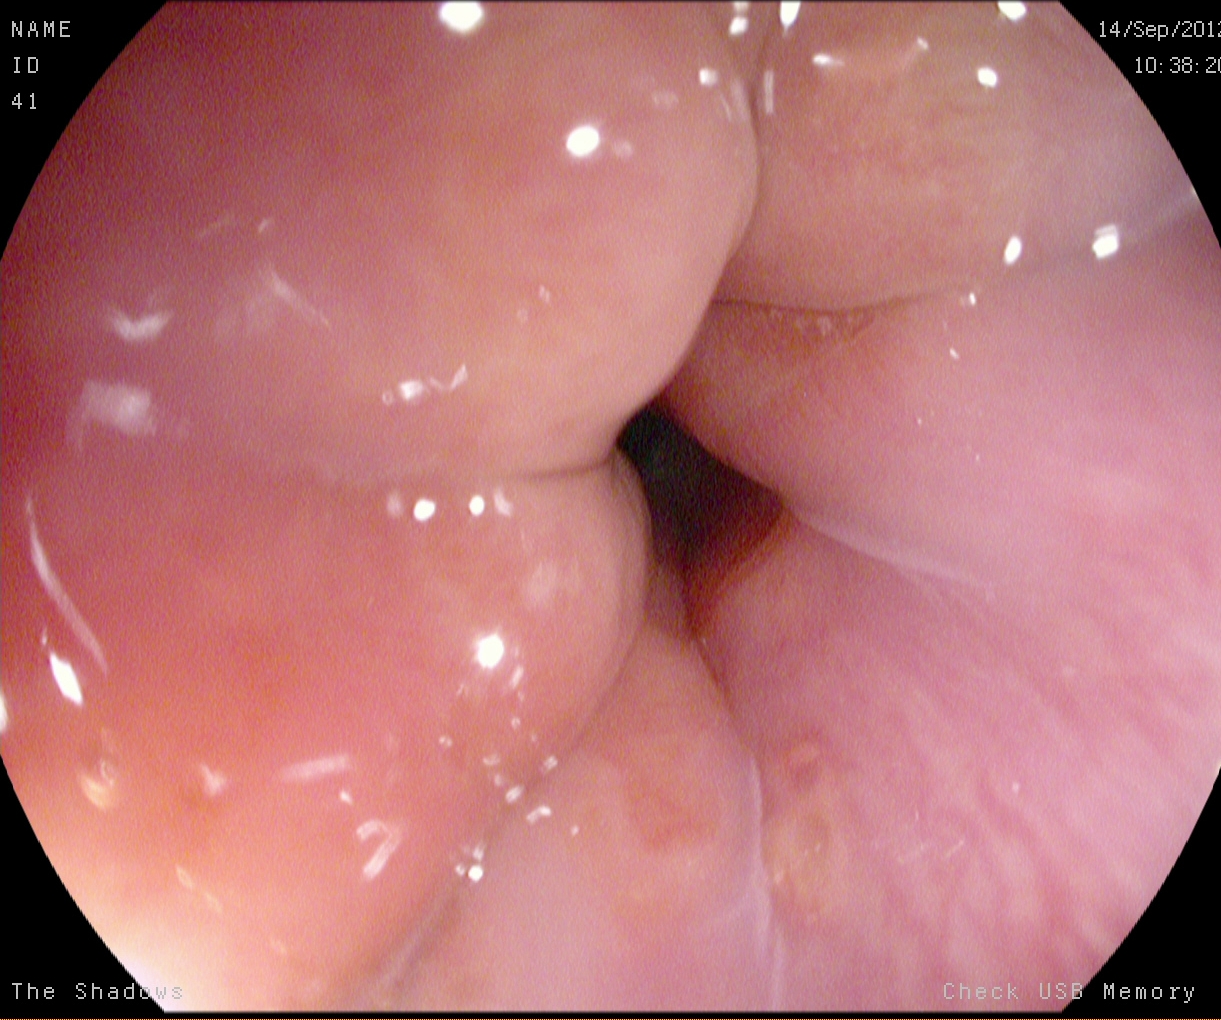PROCEDURE: EGD.
FINDINGS: Z-line (gastroesophageal junction).